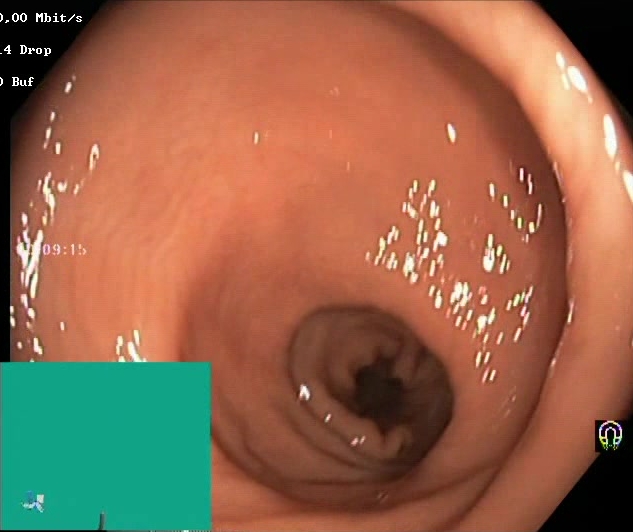{"modality": "colonoscopy", "tract": "lower GI tract", "finding": "Boston Bowel Preparation Scale score 2\u20133 (adequate preparation)"}